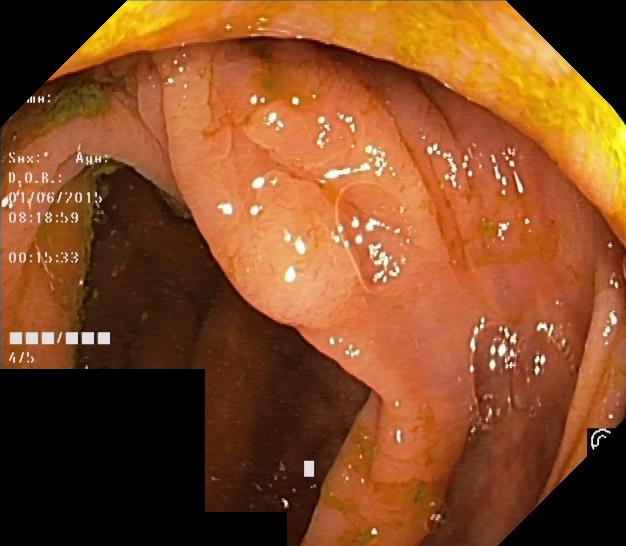PROCEDURE: Lower-GI endoscopy.
FINDINGS: Colorectal polyp(s).